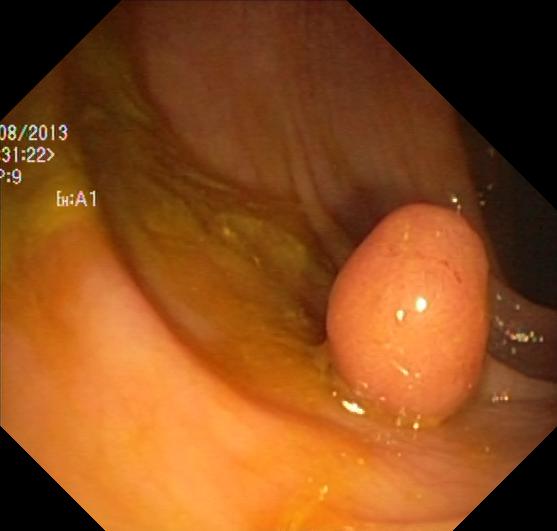Lower-GI endoscopy — colorectal polyp(s).